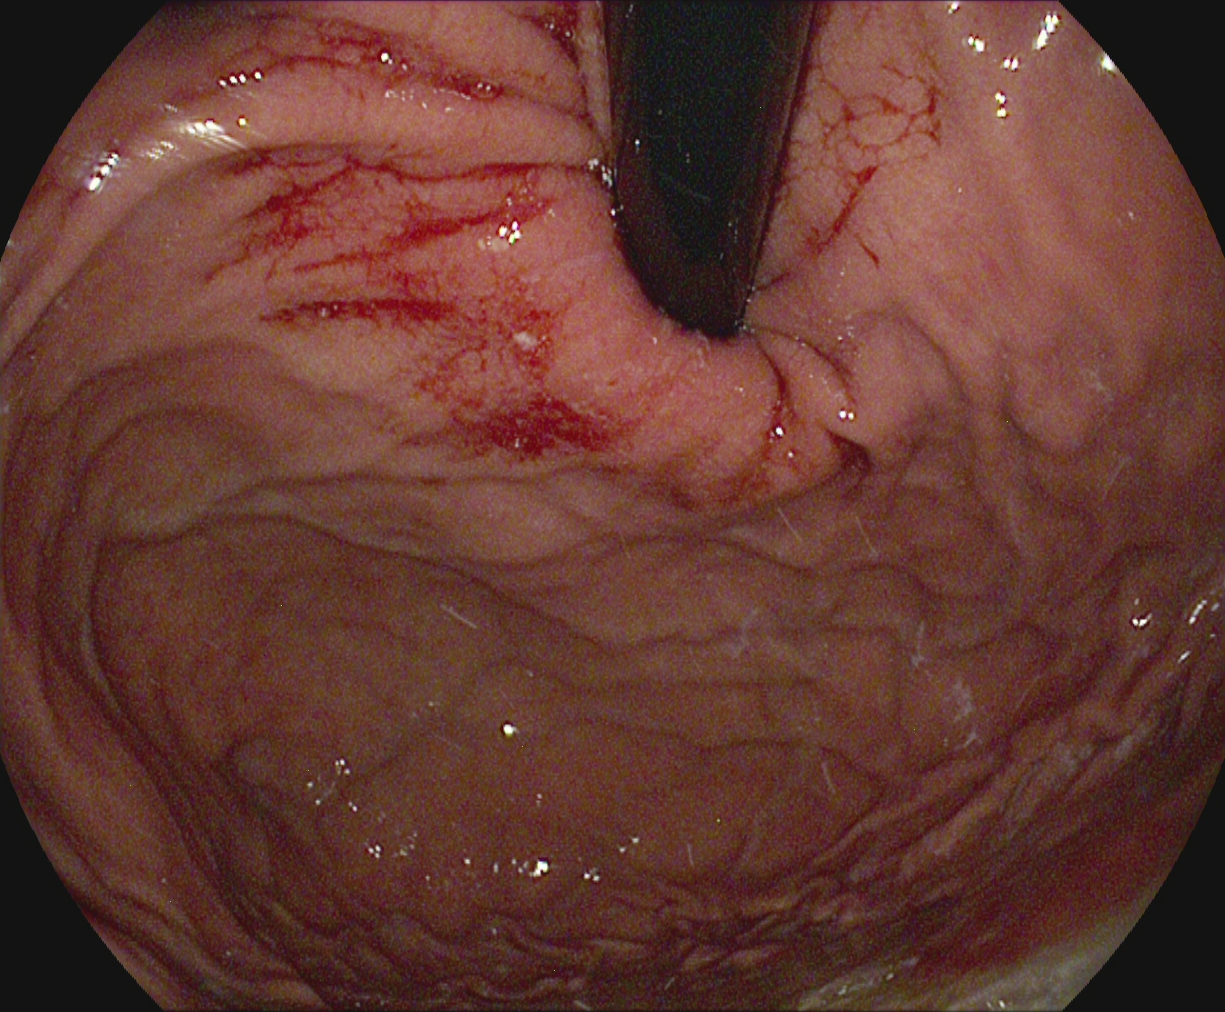Stomach in retroflexion.